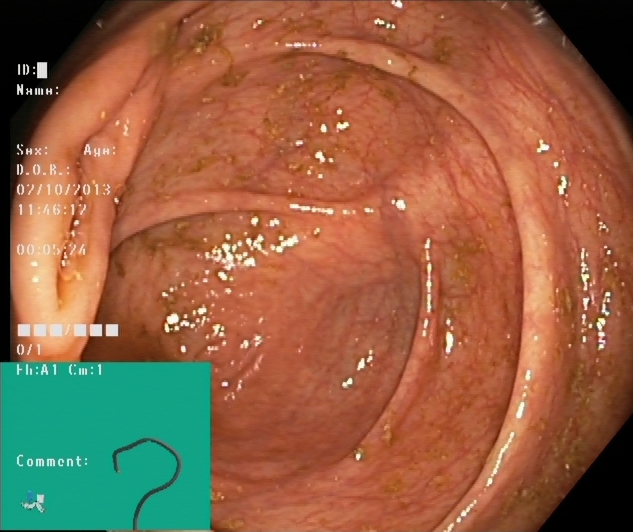Endoscopic image showing cecum.